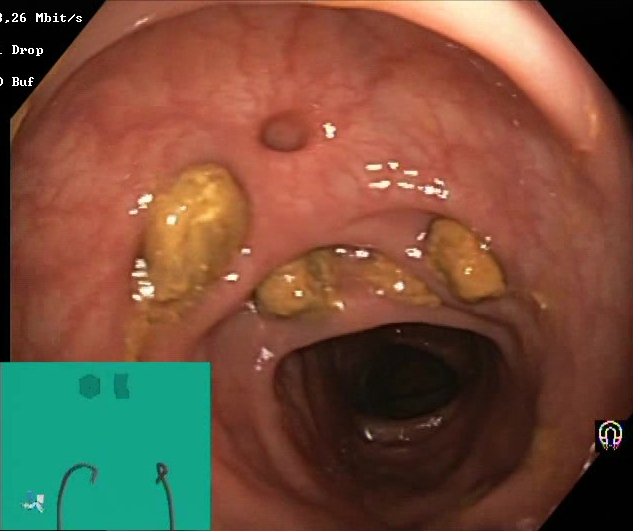PROCEDURE: Colonoscopy.
CATEGORY: Mucosal-view quality.
FINDINGS: Impacted stool.